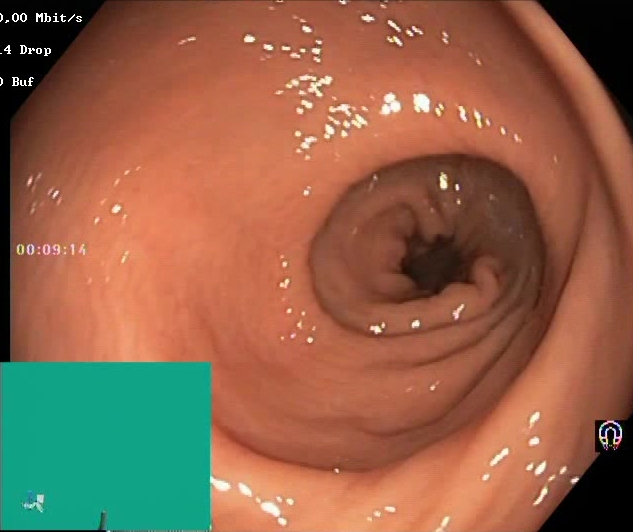{"modality": "lower-GI endoscopy", "tract": "lower GI tract", "category": "mucosal-view quality", "finding": "BBPS score 2\u20133 (adequate preparation)"}